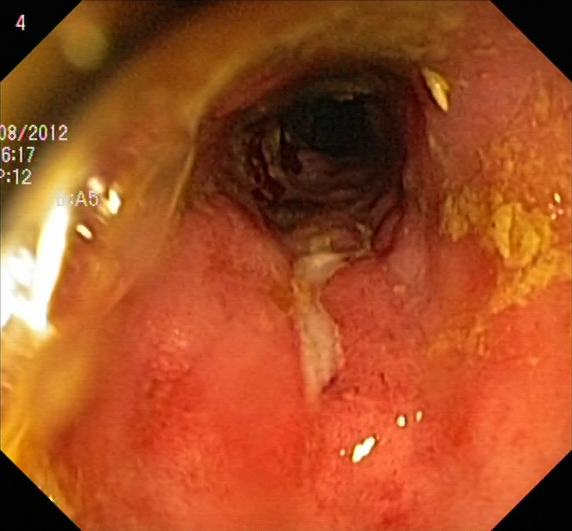This endoscopic image shows ulcerative colitis, Mayo endoscopic subscore 3.